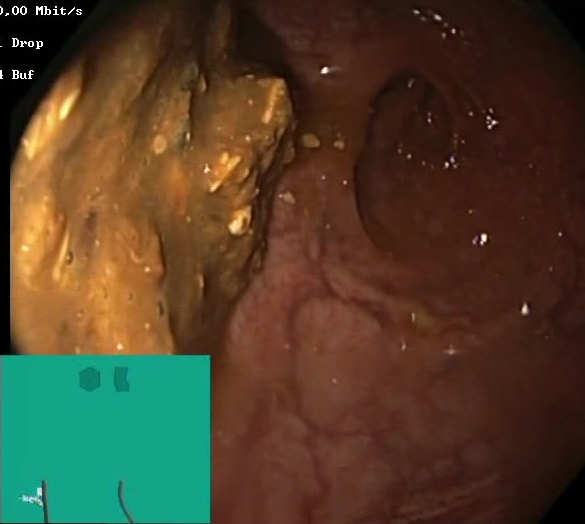Lower gastrointestinal endoscopy. Tract: lower GI tract. Finding: Boston Bowel Preparation Scale score 0–1 (inadequate preparation).